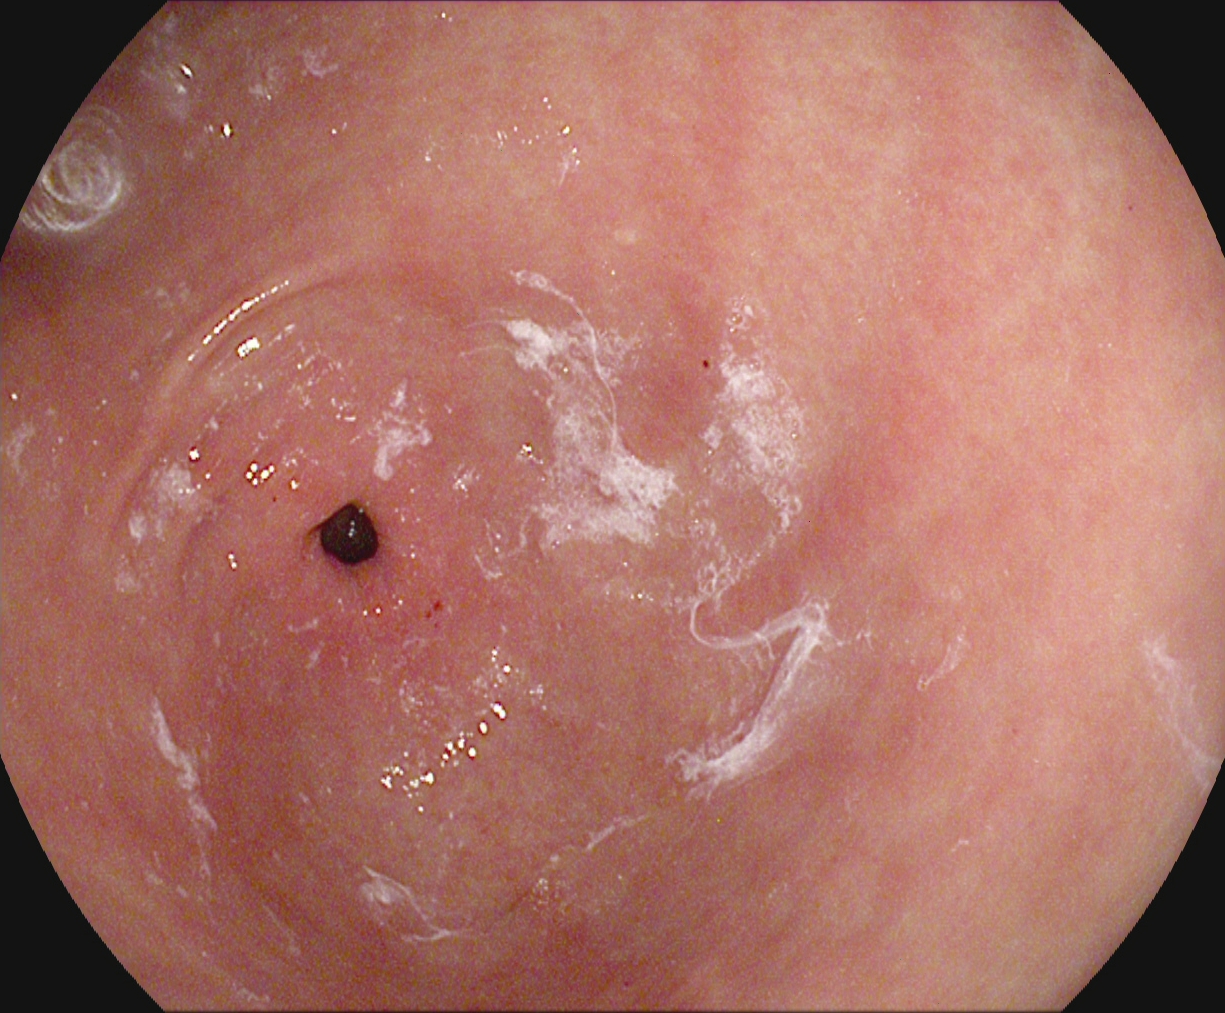{"modality": "upper-GI endoscopy", "tract": "upper GI tract", "category": "anatomical landmark", "finding": "pylorus"}